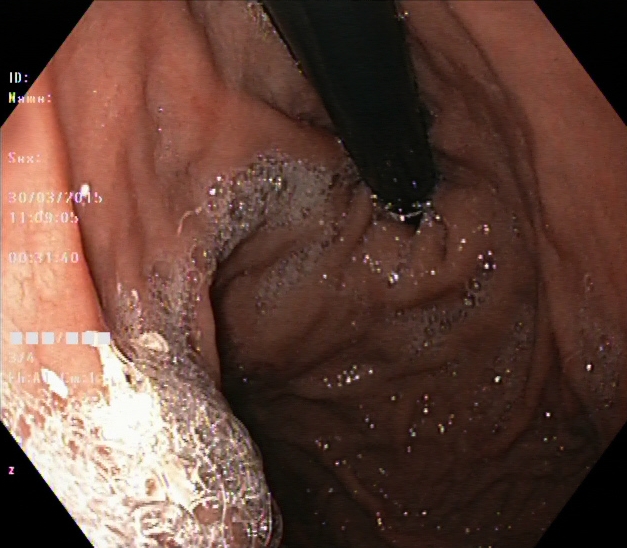EGD. Finding: stomach in retroflexion.